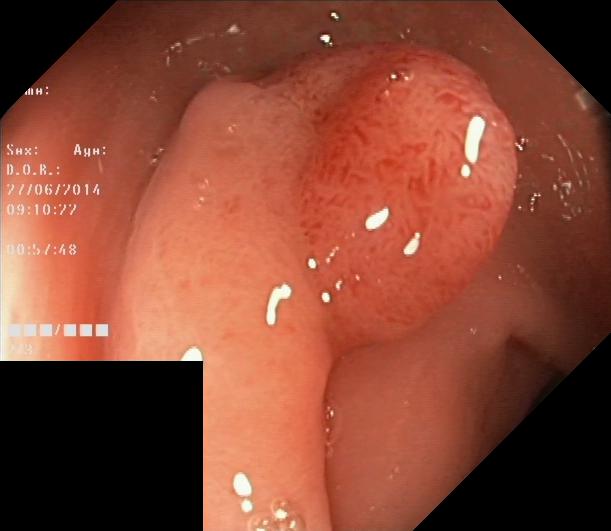Colonoscopy — colorectal polyp(s).